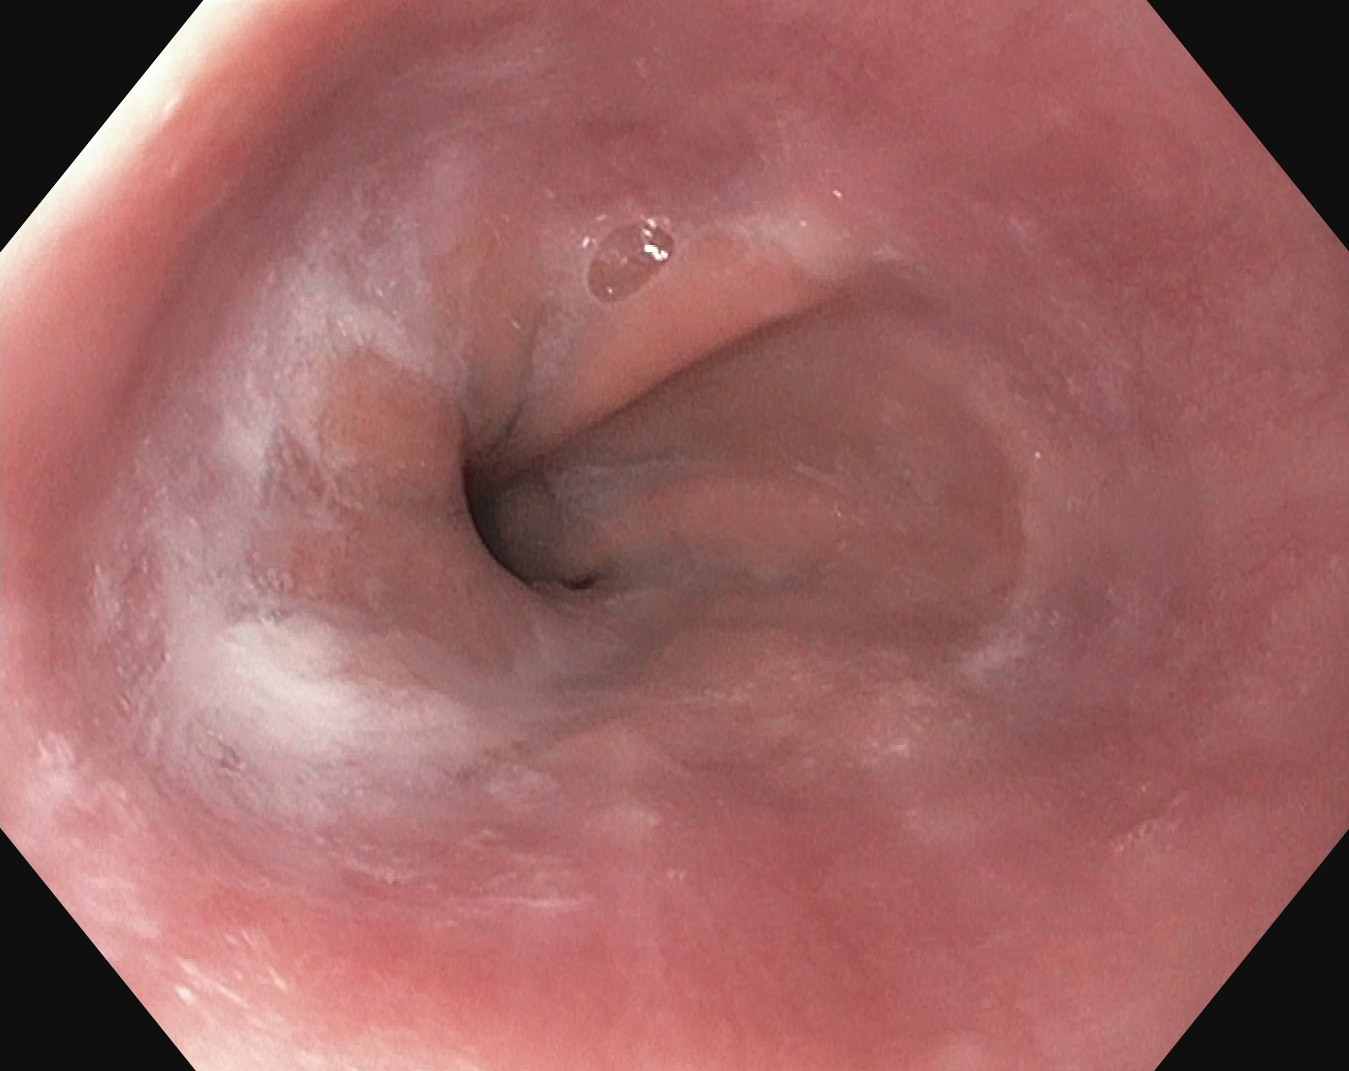Upper-GI endoscopy image of the upper GI tract showing Z-line (gastroesophageal junction).